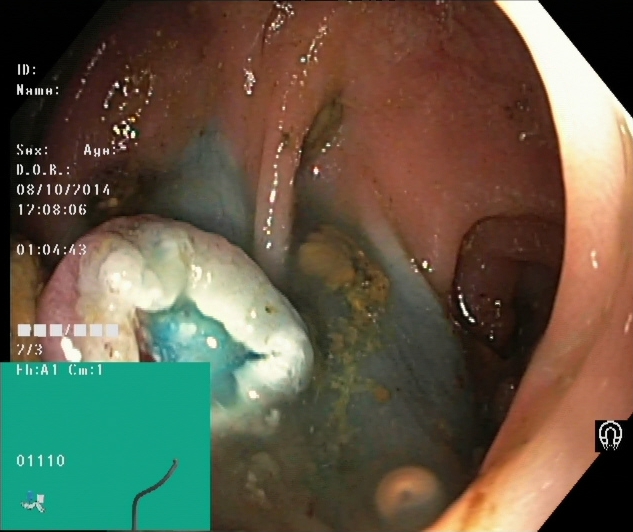Dyed resection margins (post-polypectomy).